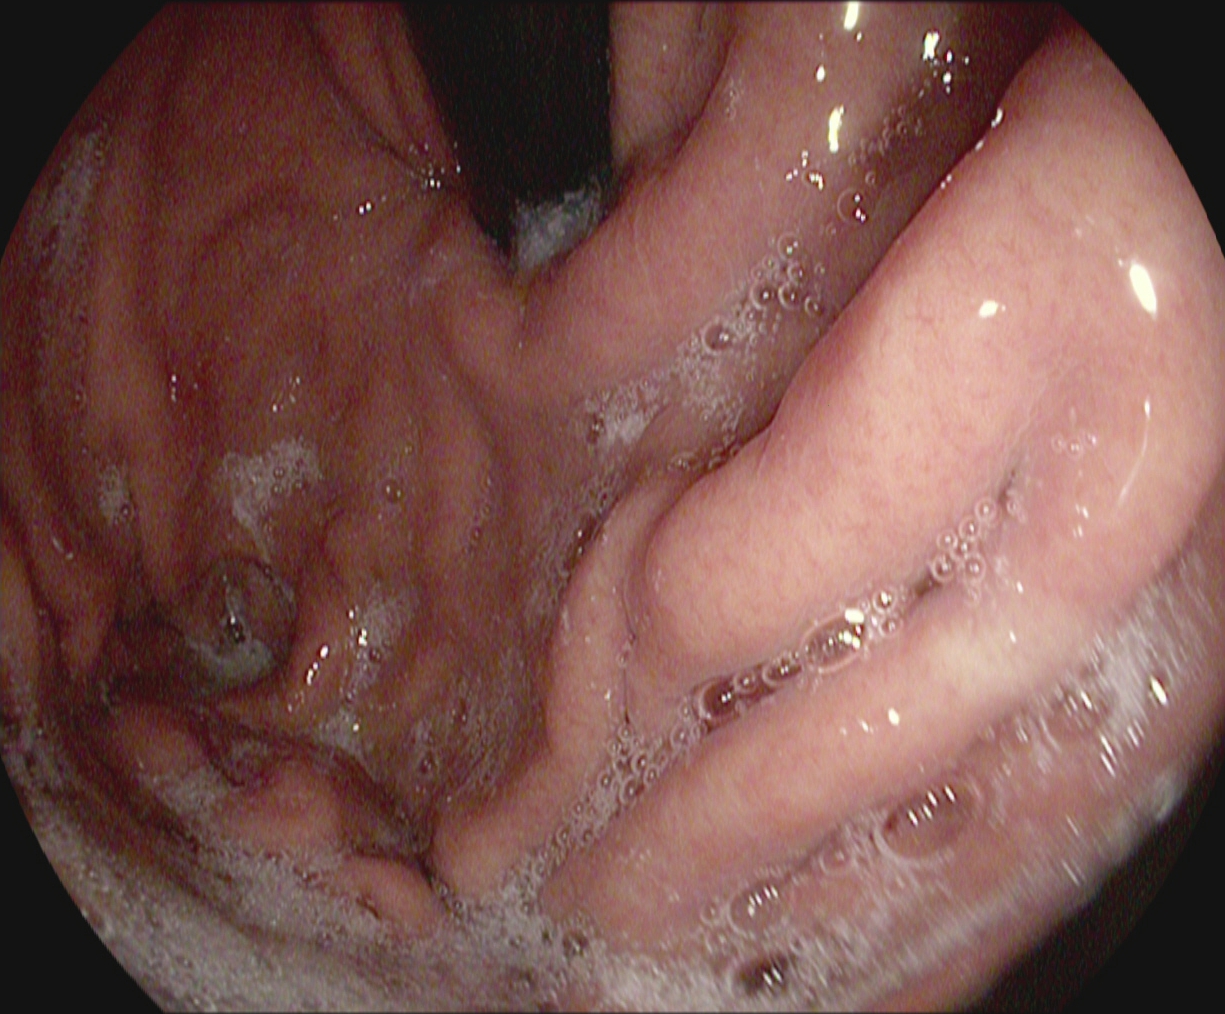{"modality": "esophagogastroduodenoscopy", "finding": "stomach in retroflexion"}